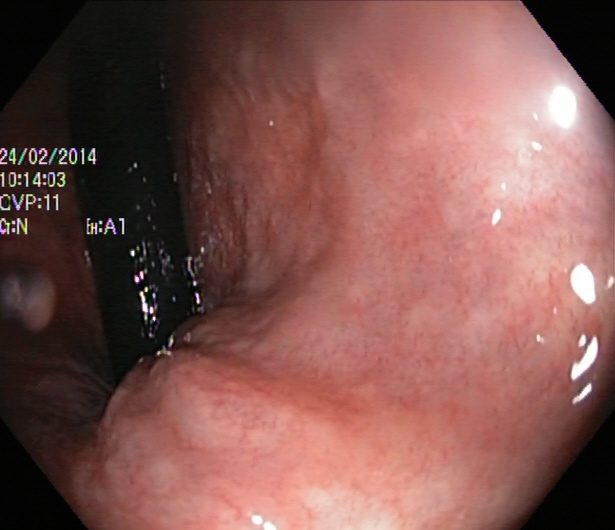Lower-GI endoscopy image of the lower GI tract showing rectum in retroflexion.